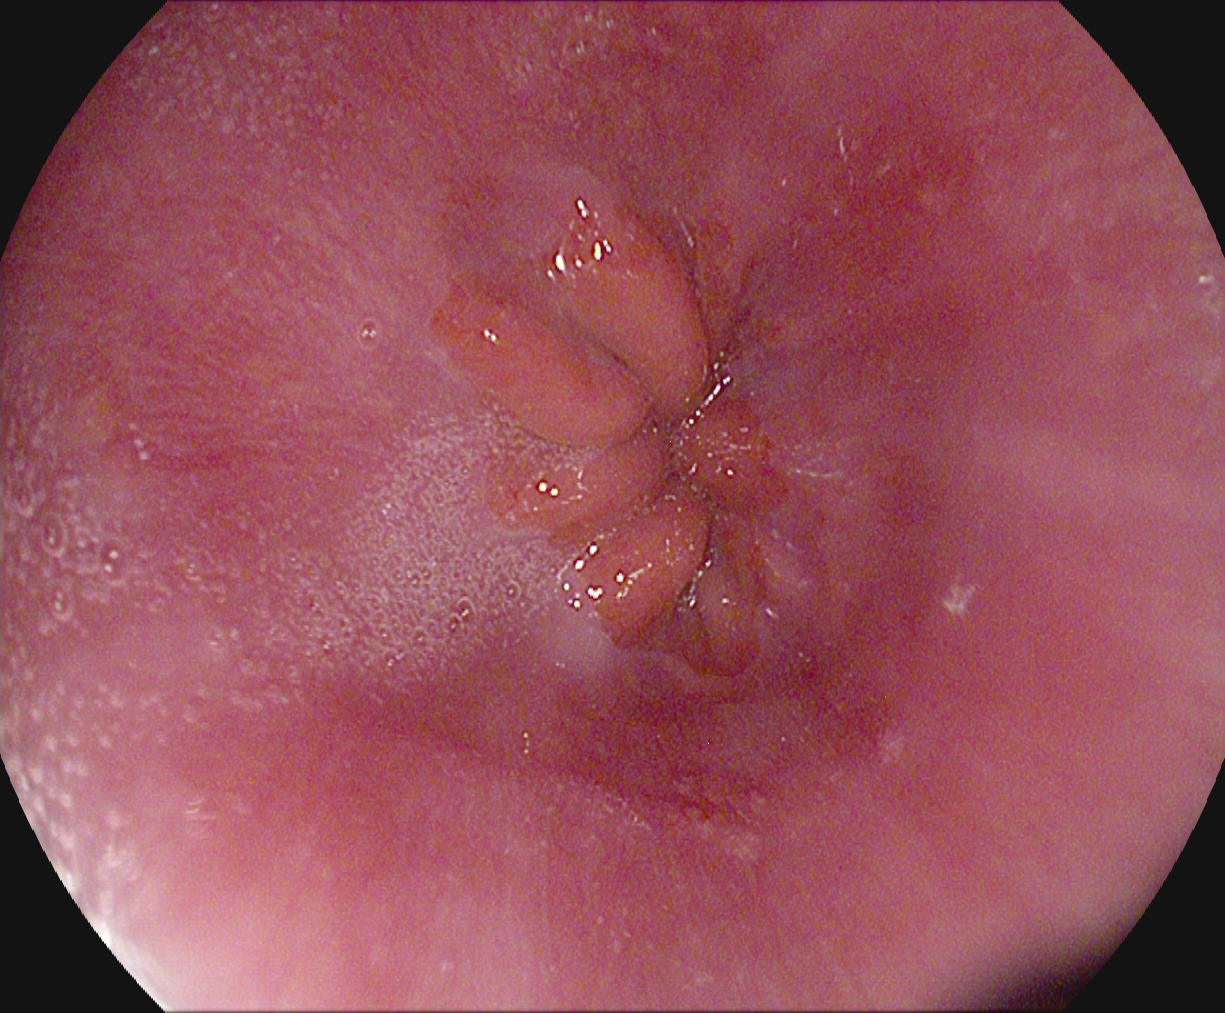Z-line (gastroesophageal junction).